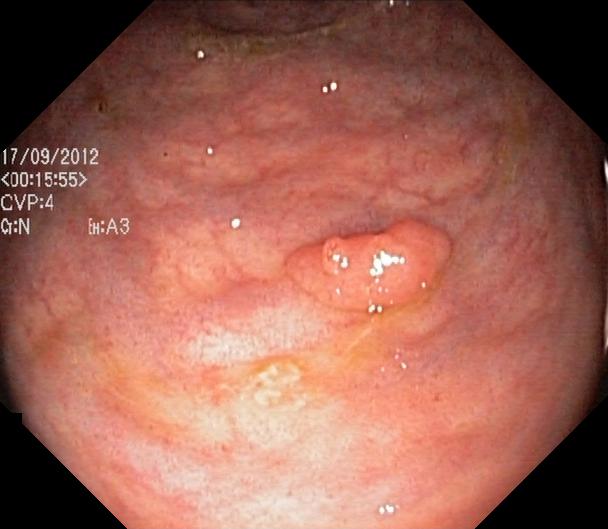This endoscopy frame of the lower GI tract shows colorectal polyp(s).